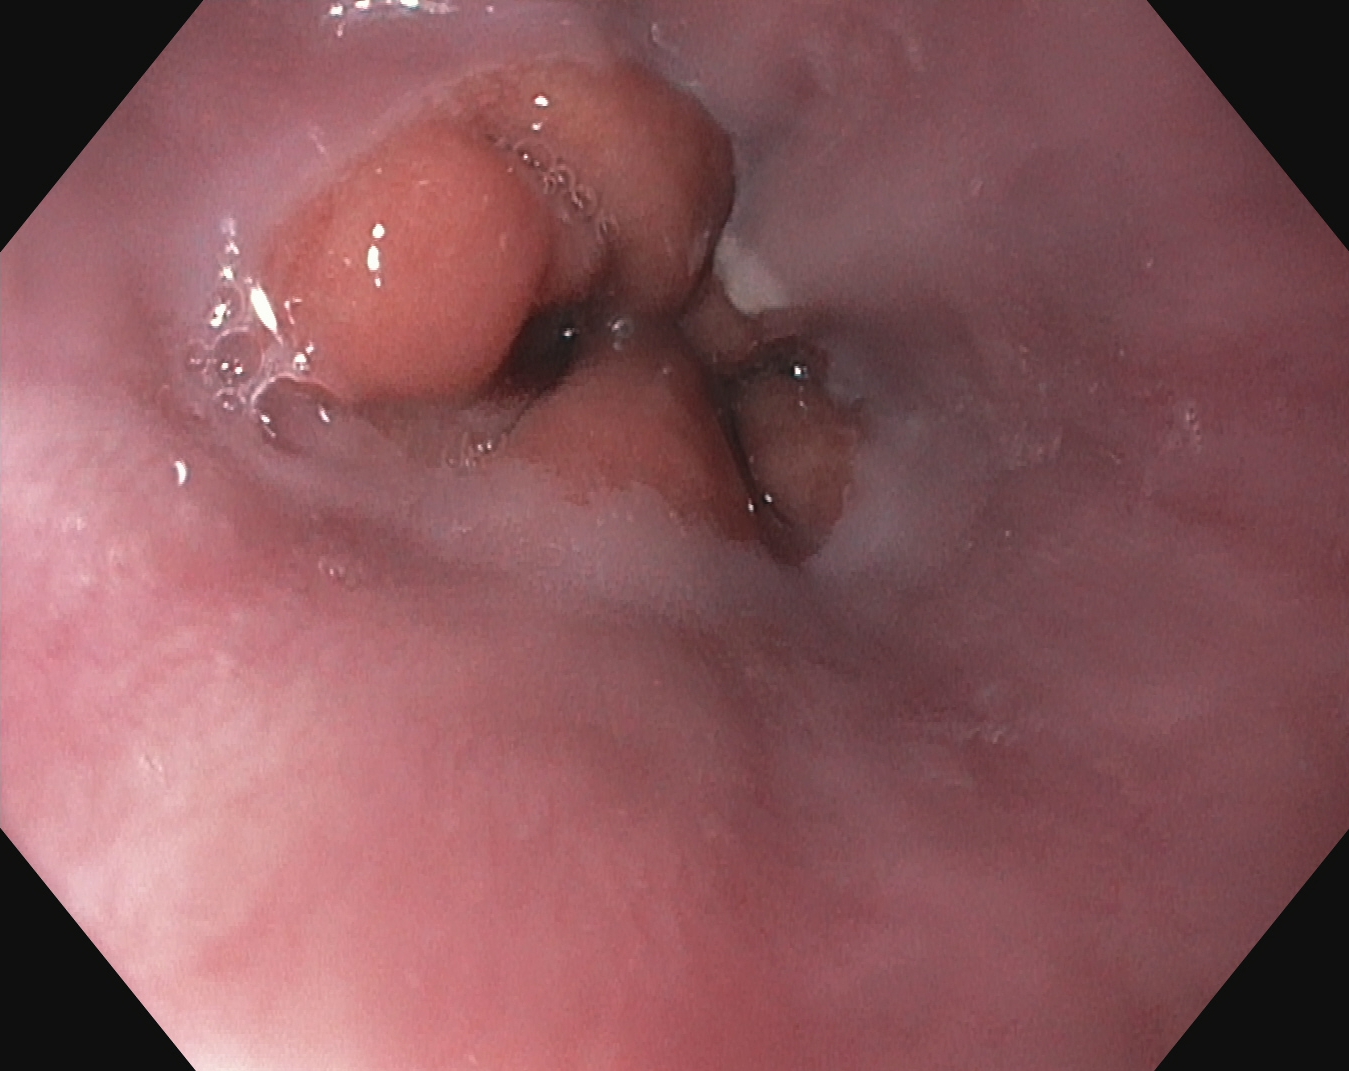{"modality": "upper-GI endoscopy", "tract": "upper GI tract", "finding": "Z-line (gastroesophageal junction)"}